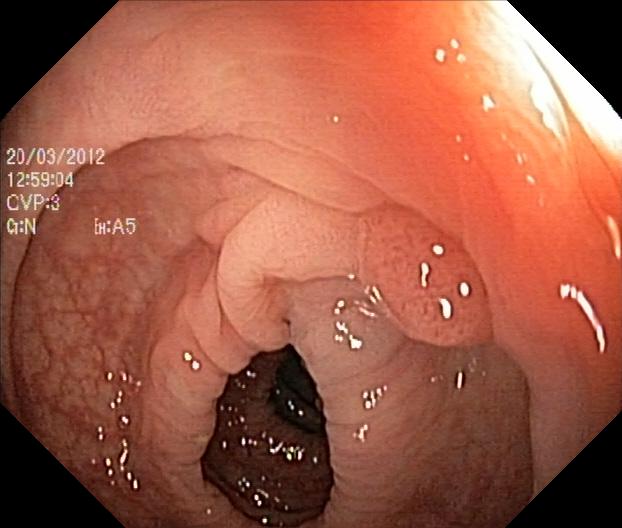PROCEDURE: Lower gastrointestinal endoscopy.
FINDINGS: Colorectal polyp(s).